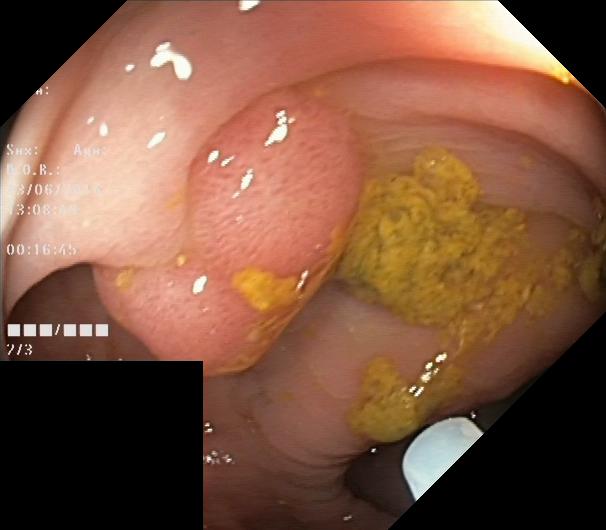Endoscopic image of the lower GI tract showing colorectal polyp(s).